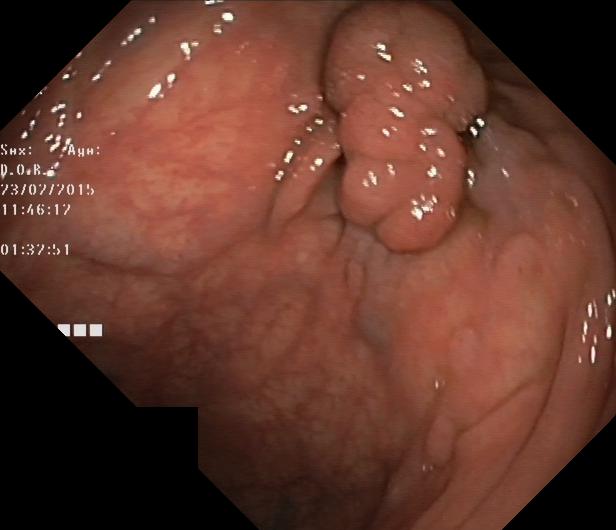Endoscopy image of the lower GI tract showing colorectal polyp(s).